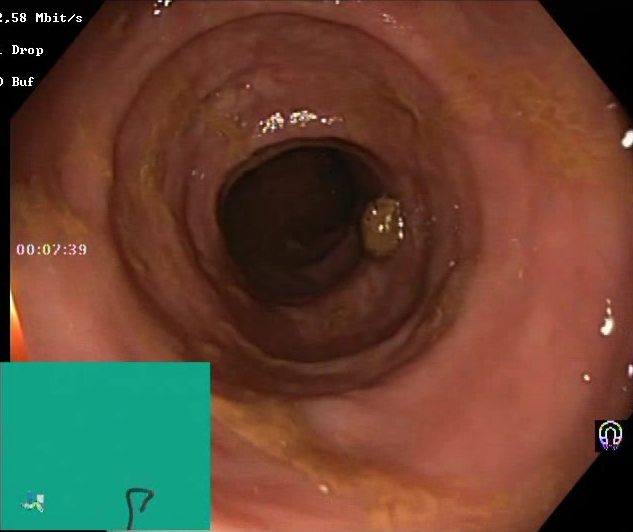BBPS score 2–3 (adequate preparation).